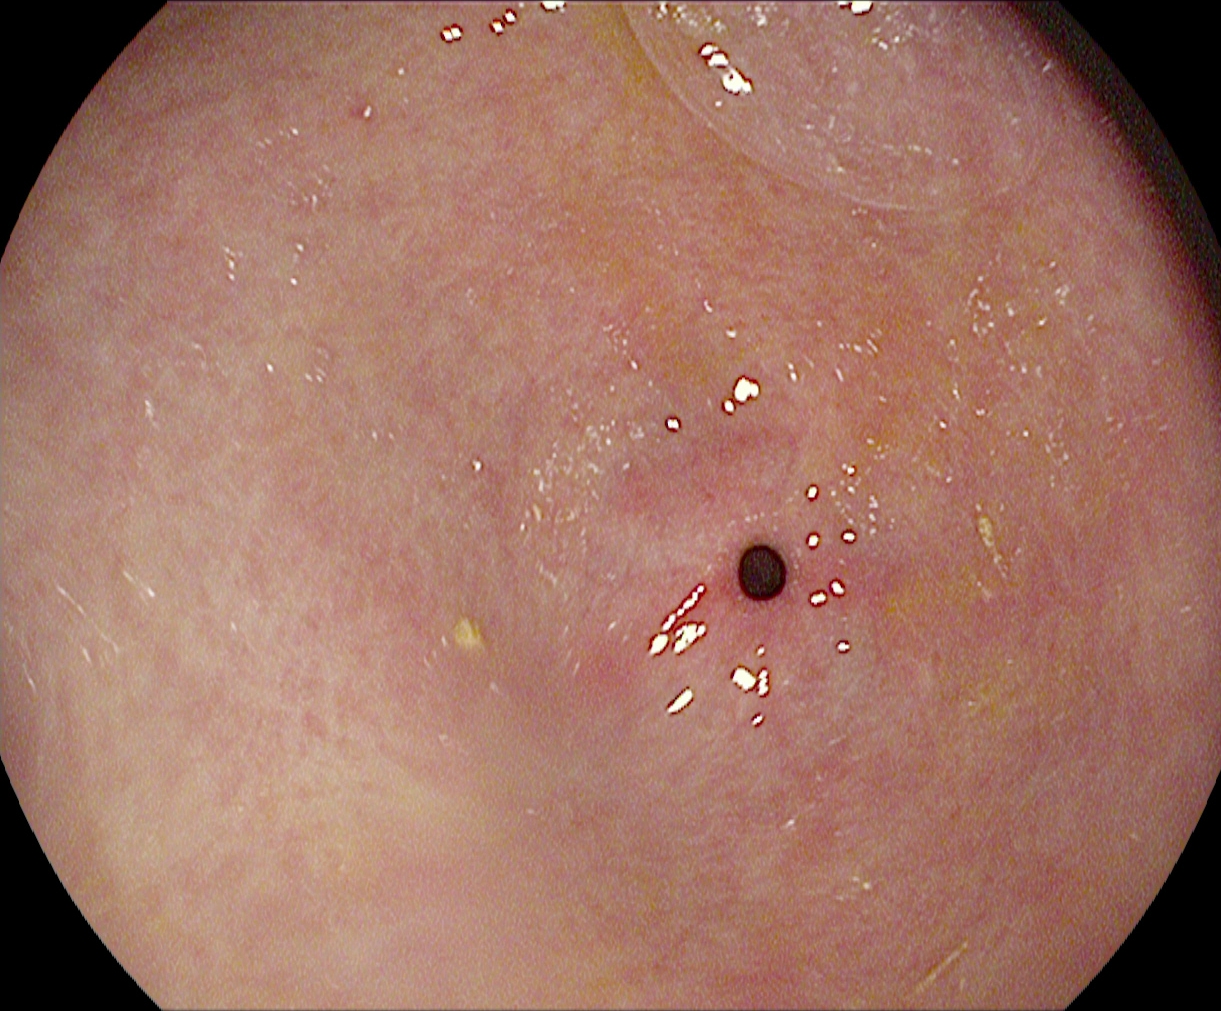PROCEDURE: Esophagogastroduodenoscopy.
FINDINGS: Pylorus.